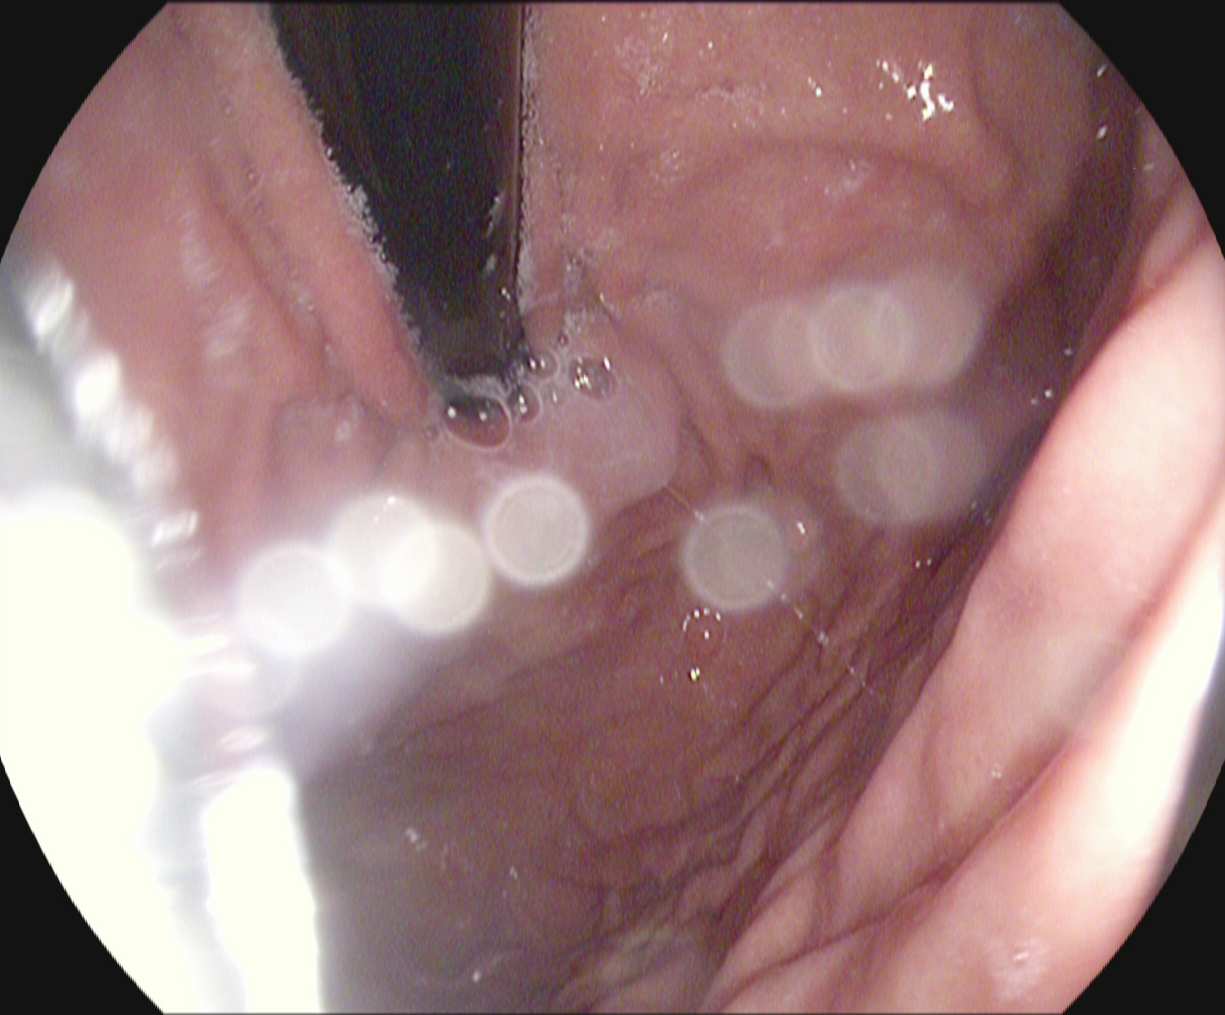Gastroscopy — stomach in retroflexion.